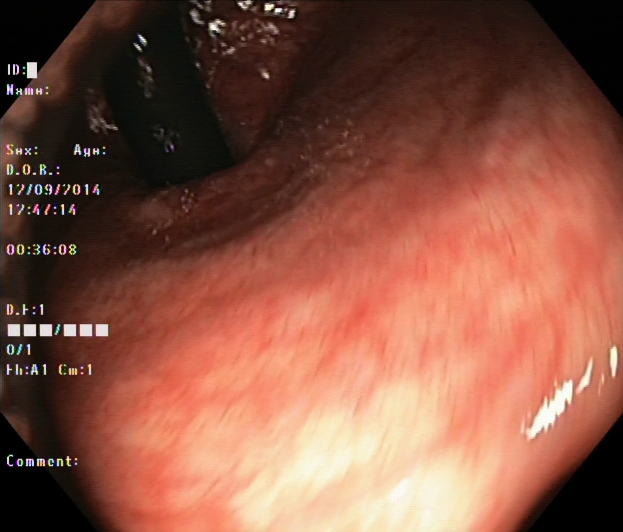Endoscopic frame of the lower GI tract showing rectum in retroflexion.